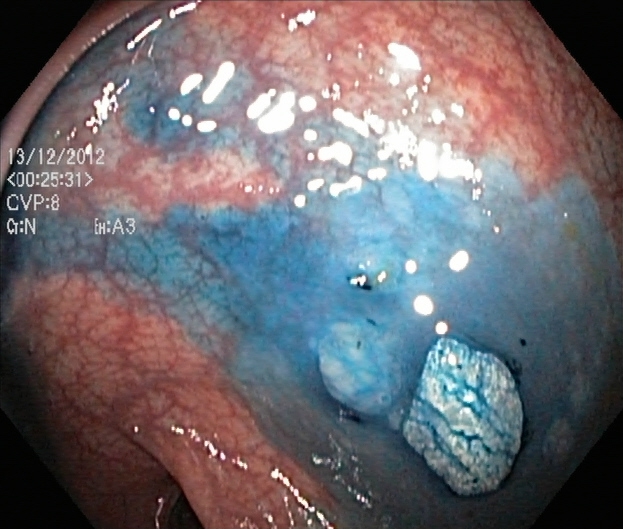Lower gastrointestinal endoscopy — dyed and lifted polyp (pre-resection).